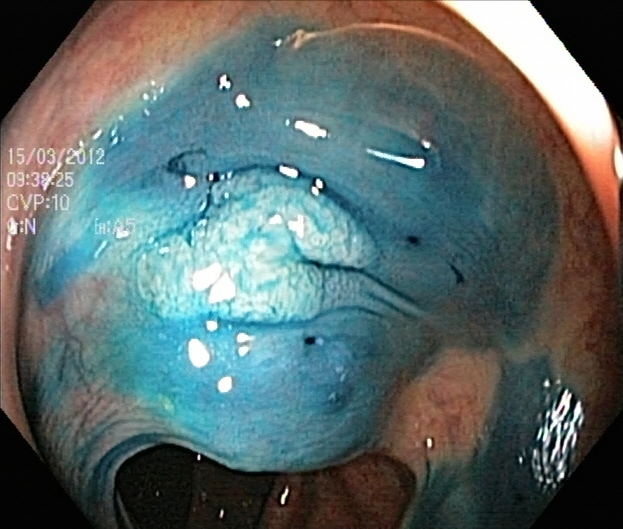PROCEDURE: Lower gastrointestinal endoscopy.
FINDINGS: Dyed and lifted polyp (pre-resection).